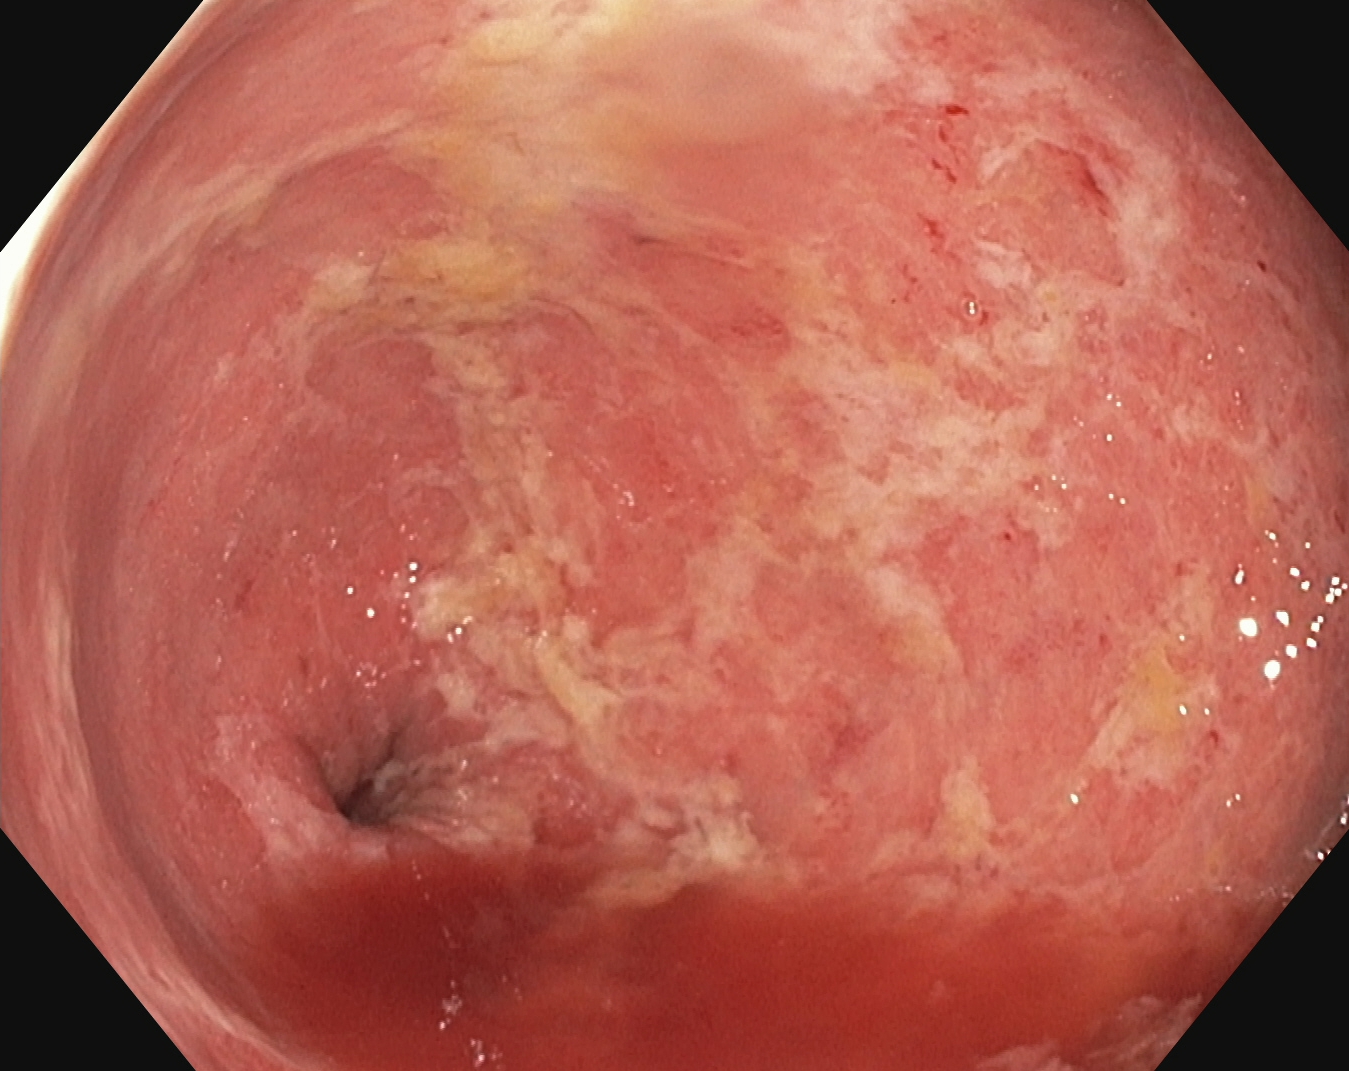PROCEDURE: Lower-GI endoscopy.
FINDINGS: UC, Mayo endoscopic subscore 2.